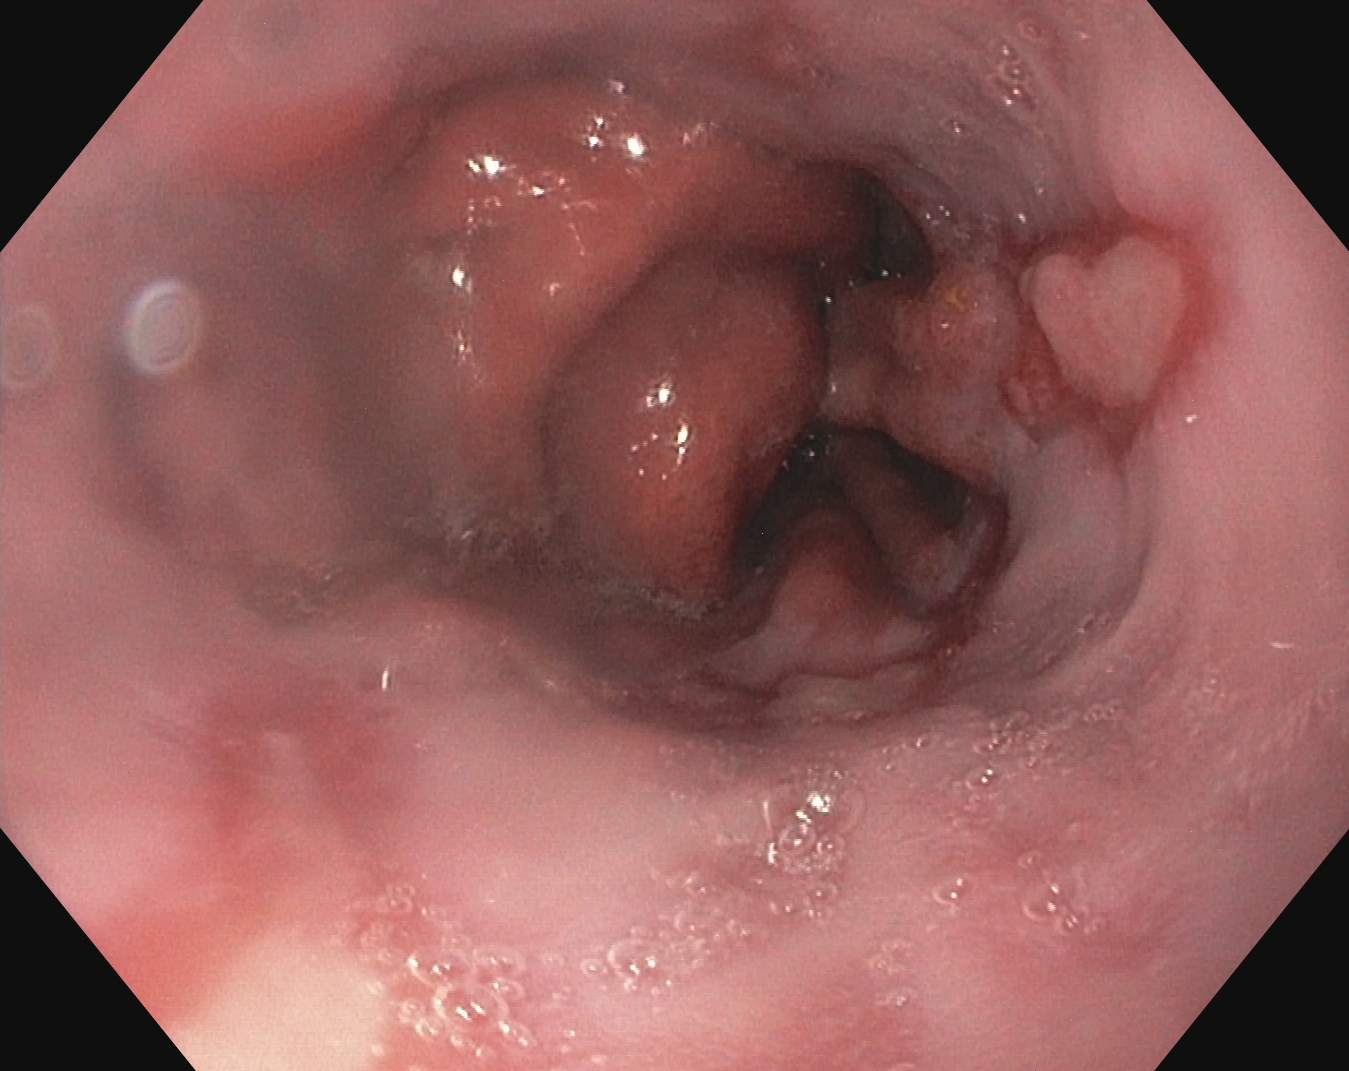PROCEDURE: Gastroscopy.
CATEGORY: Pathological finding.
FINDINGS: Reflux esophagitis, Los Angeles grade B–D.